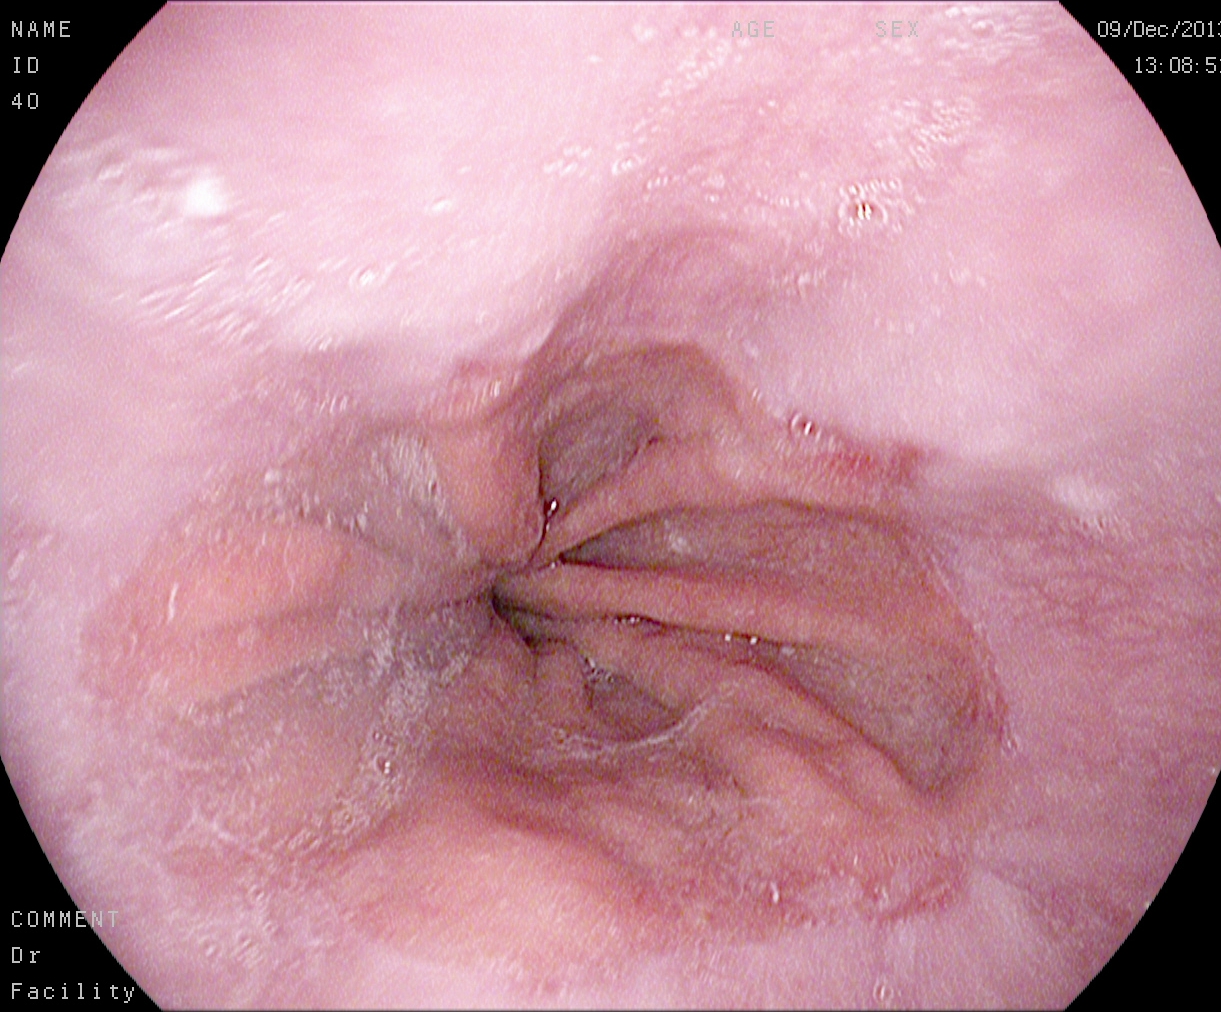PROCEDURE: Gastroscopy.
FINDINGS: Reflux esophagitis, Los Angeles grade A.